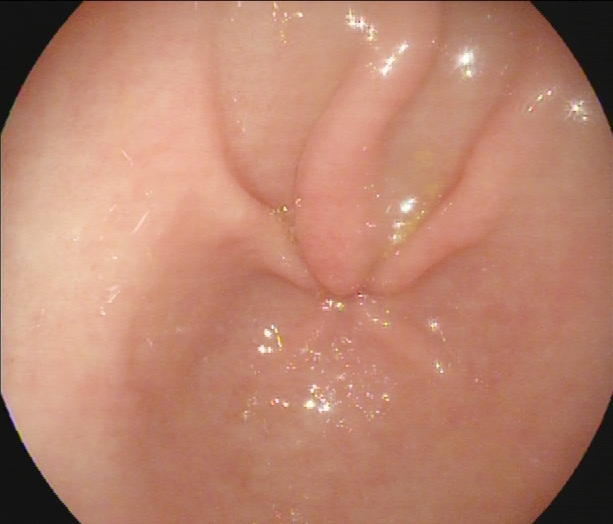PROCEDURE: Upper-GI endoscopy.
CATEGORY: Anatomical landmark.
FINDINGS: Pylorus.